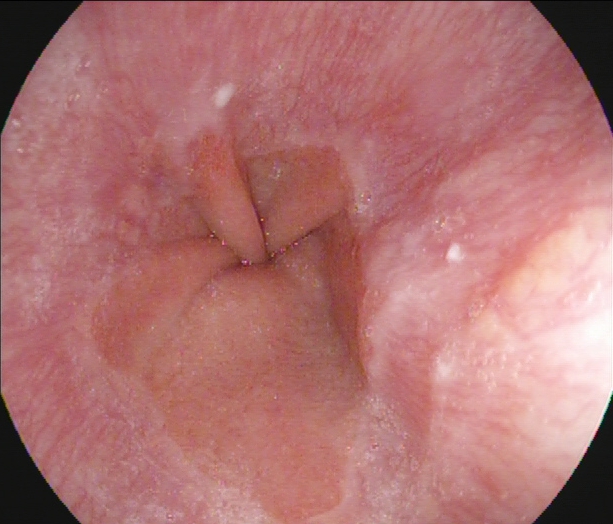{"modality": "gastroscopy", "category": "anatomical landmark", "finding": "Z-line (gastroesophageal junction)"}